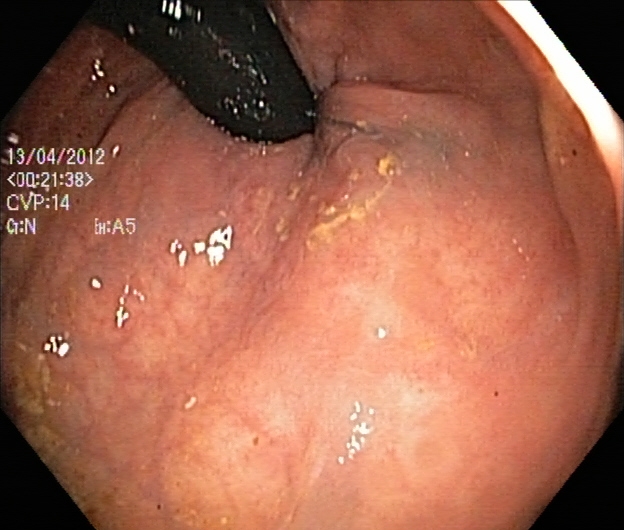{"modality": "colonoscopy", "finding": "rectum in retroflexion"}